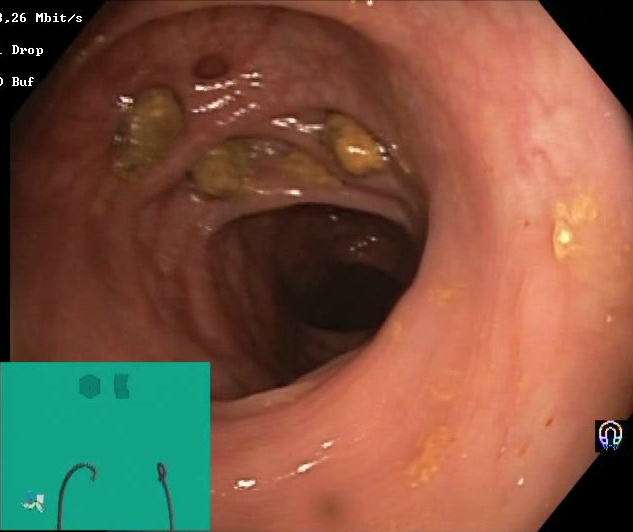Endoscopic frame of the lower GI tract showing impacted stool.